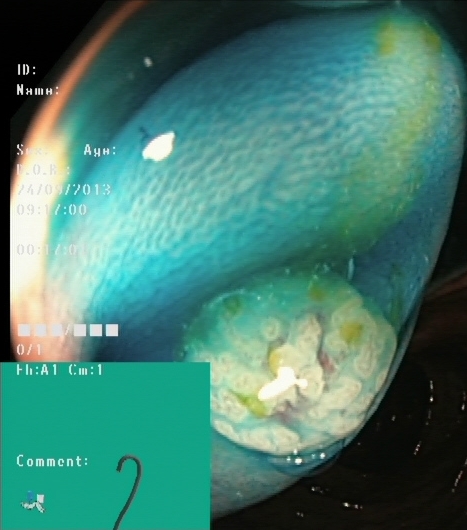Colonoscopy image of the lower GI tract showing dyed and lifted polyp (pre-resection).